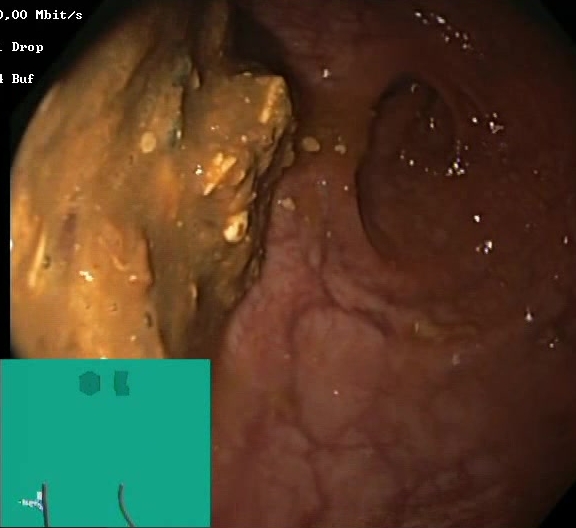PROCEDURE: Colonoscopy.
CATEGORY: Mucosal-view quality.
FINDINGS: BBPS score 0–1 (inadequate preparation).